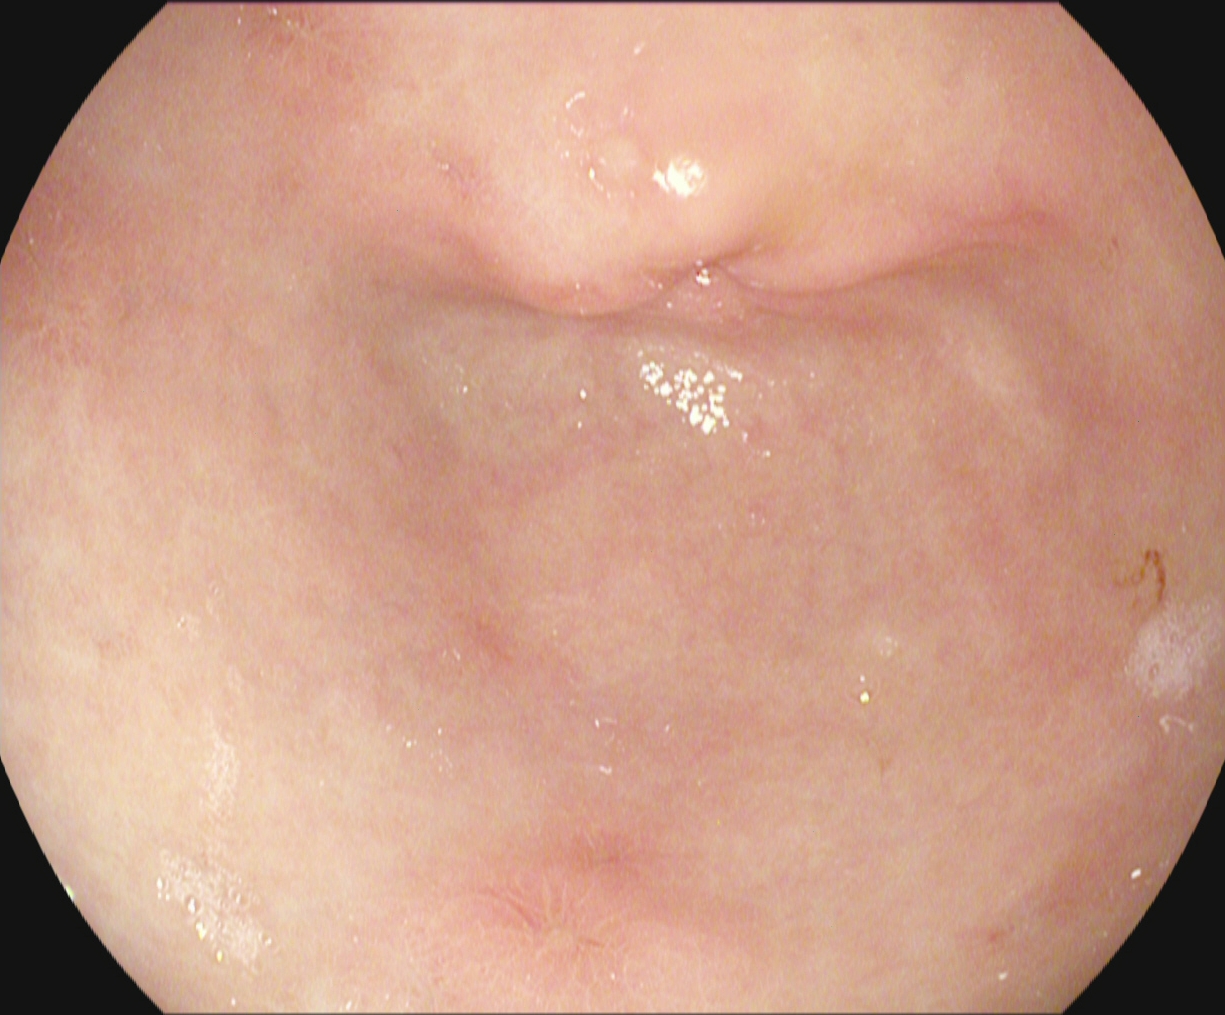This endoscopy frame of the upper GI tract shows pylorus.